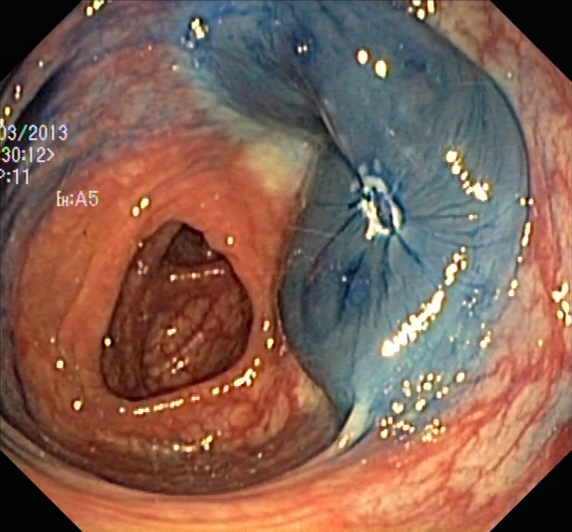GI endoscopy image of the lower GI tract showing dyed resection margins (post-polypectomy).